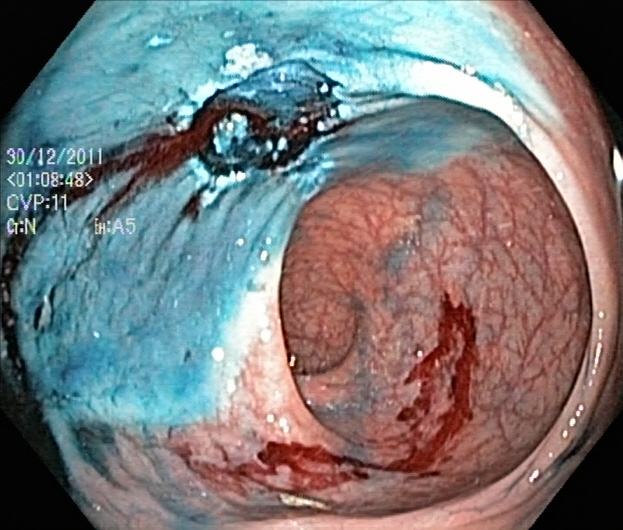Colonoscopy. Tract: lower GI tract. Therapeutic intervention. Finding: dyed resection margins (post-polypectomy).